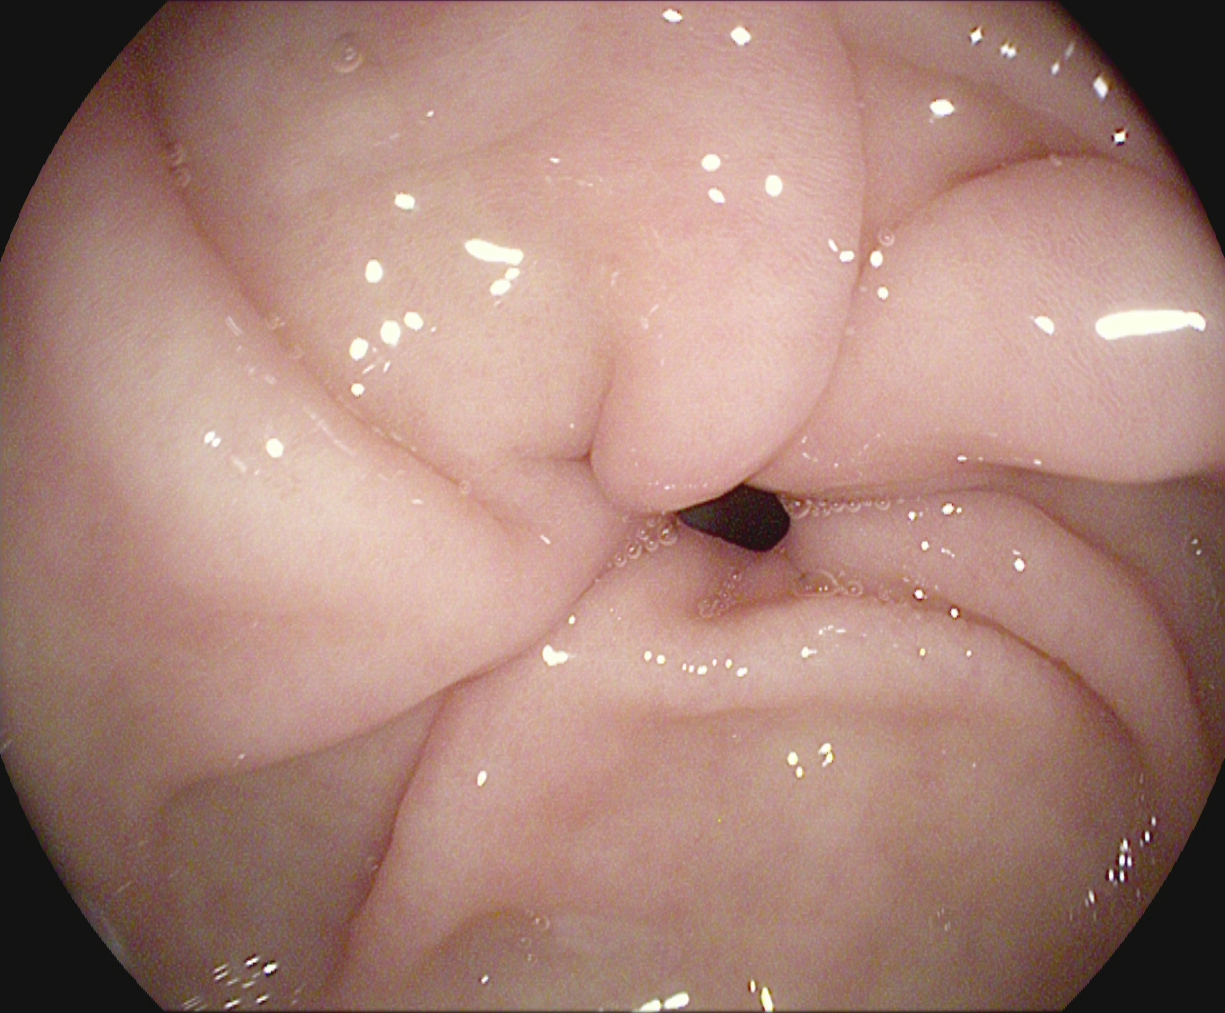Gastroscopy — pylorus.